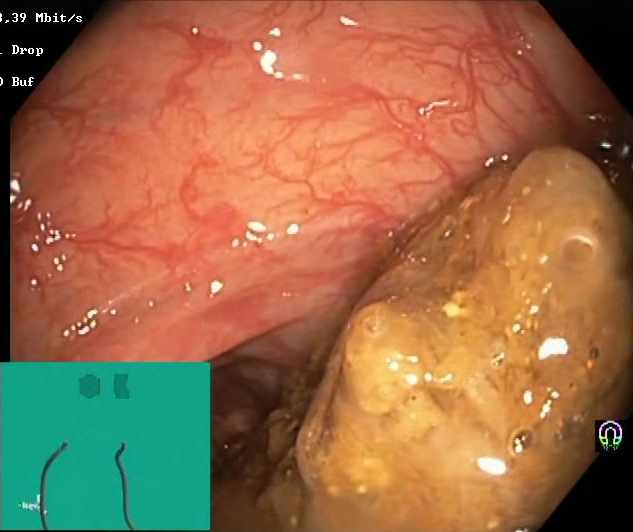Boston Bowel Preparation Scale score 0–1 (inadequate preparation).